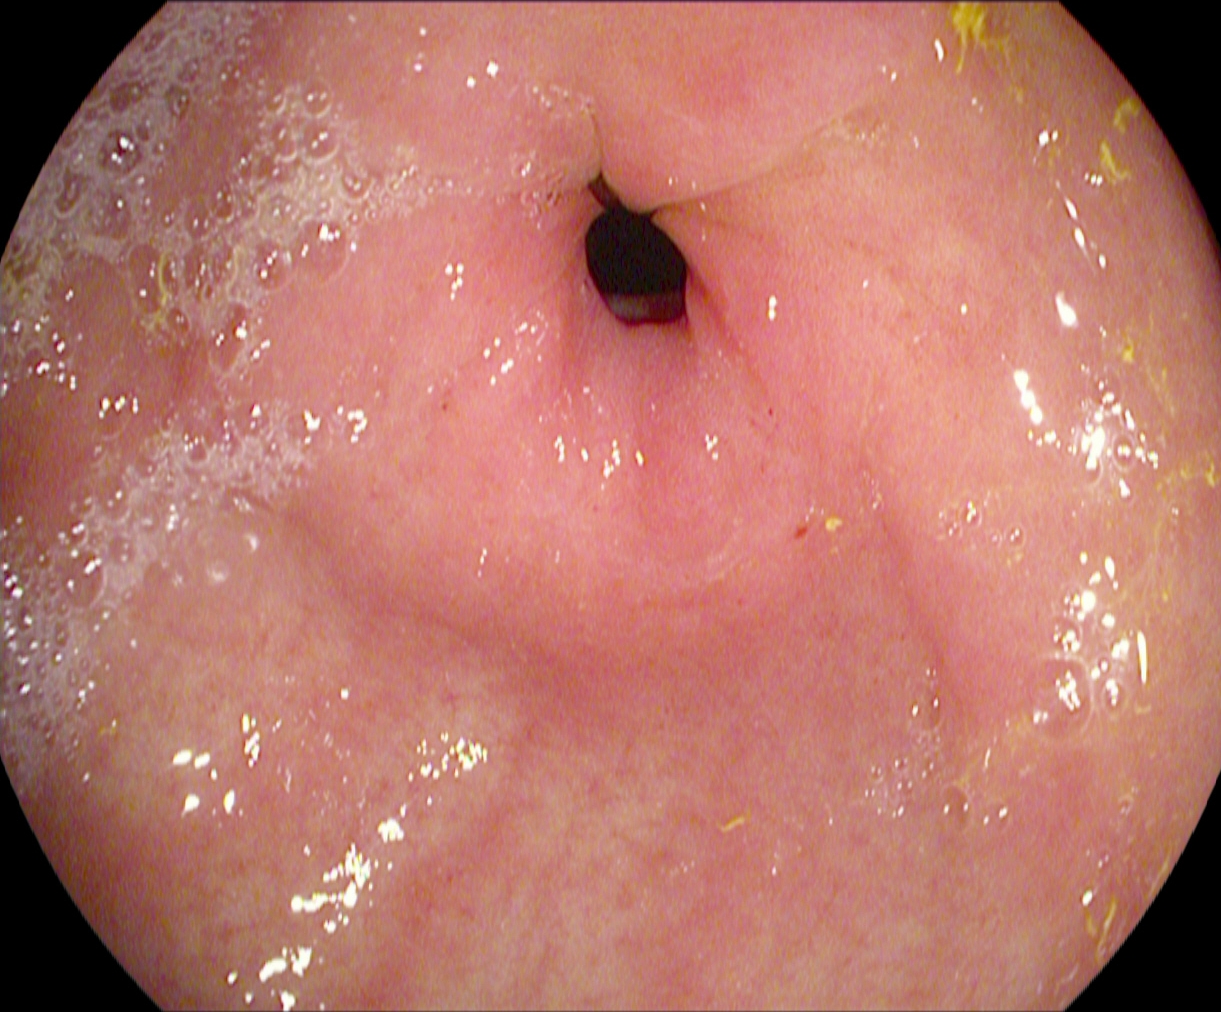PROCEDURE: Esophagogastroduodenoscopy.
FINDINGS: Pylorus.